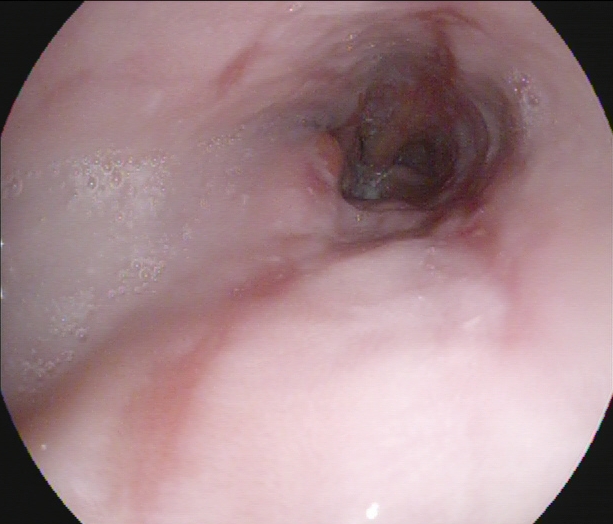This endoscopic image shows reflux esophagitis, Los Angeles grade A.